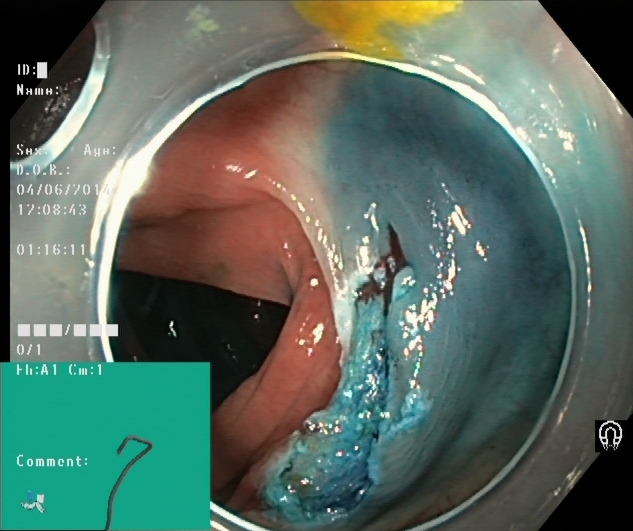This endoscopy frame shows dyed resection margins (post-polypectomy).